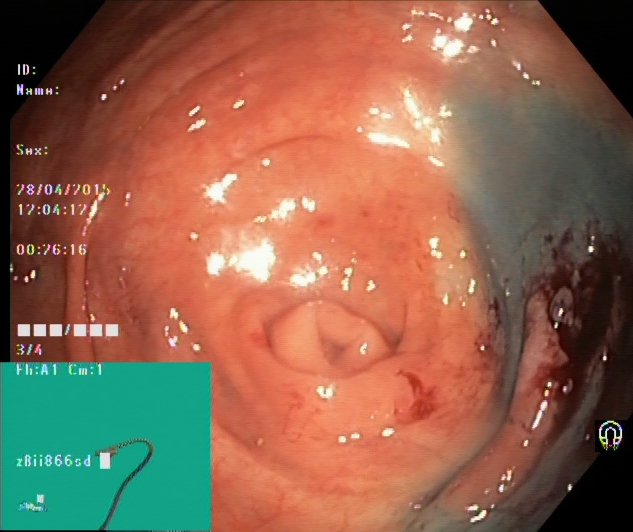Colonoscopy. Tract: lower GI tract. Finding: cecum.